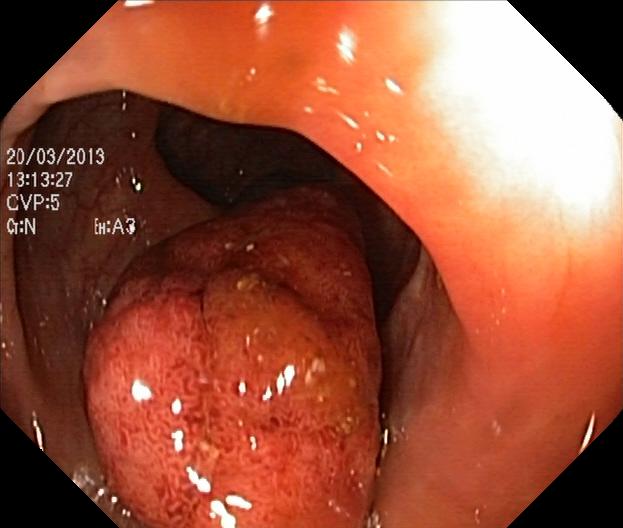PROCEDURE: Lower-GI endoscopy.
CATEGORY: Pathological finding.
FINDINGS: Colorectal polyp(s).